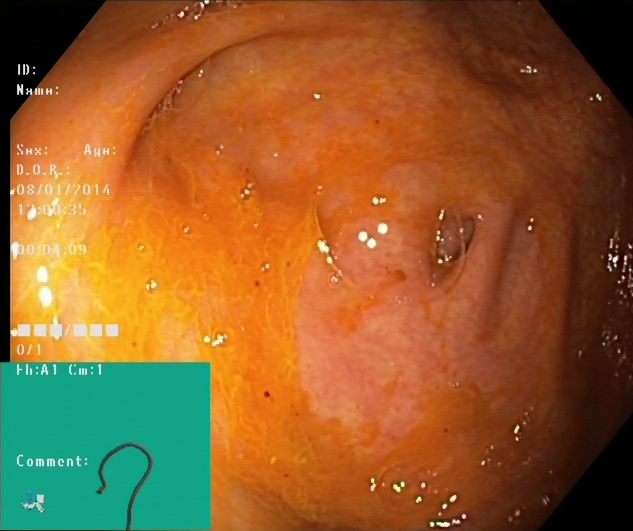Cecum.